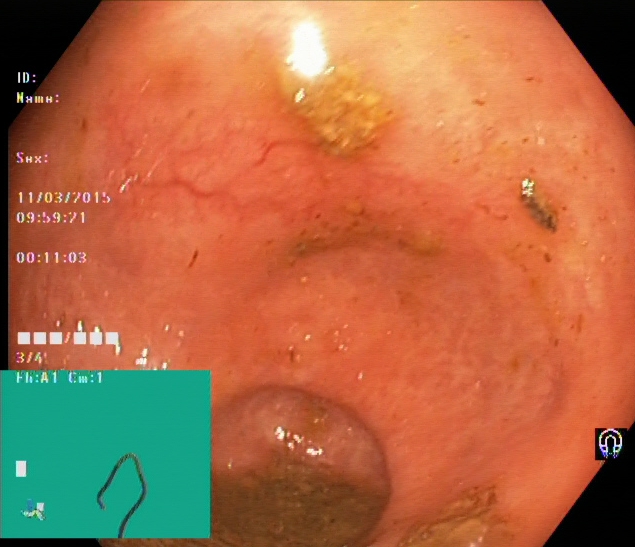{"modality": "colonoscopy", "category": "anatomical landmark", "finding": "cecum"}